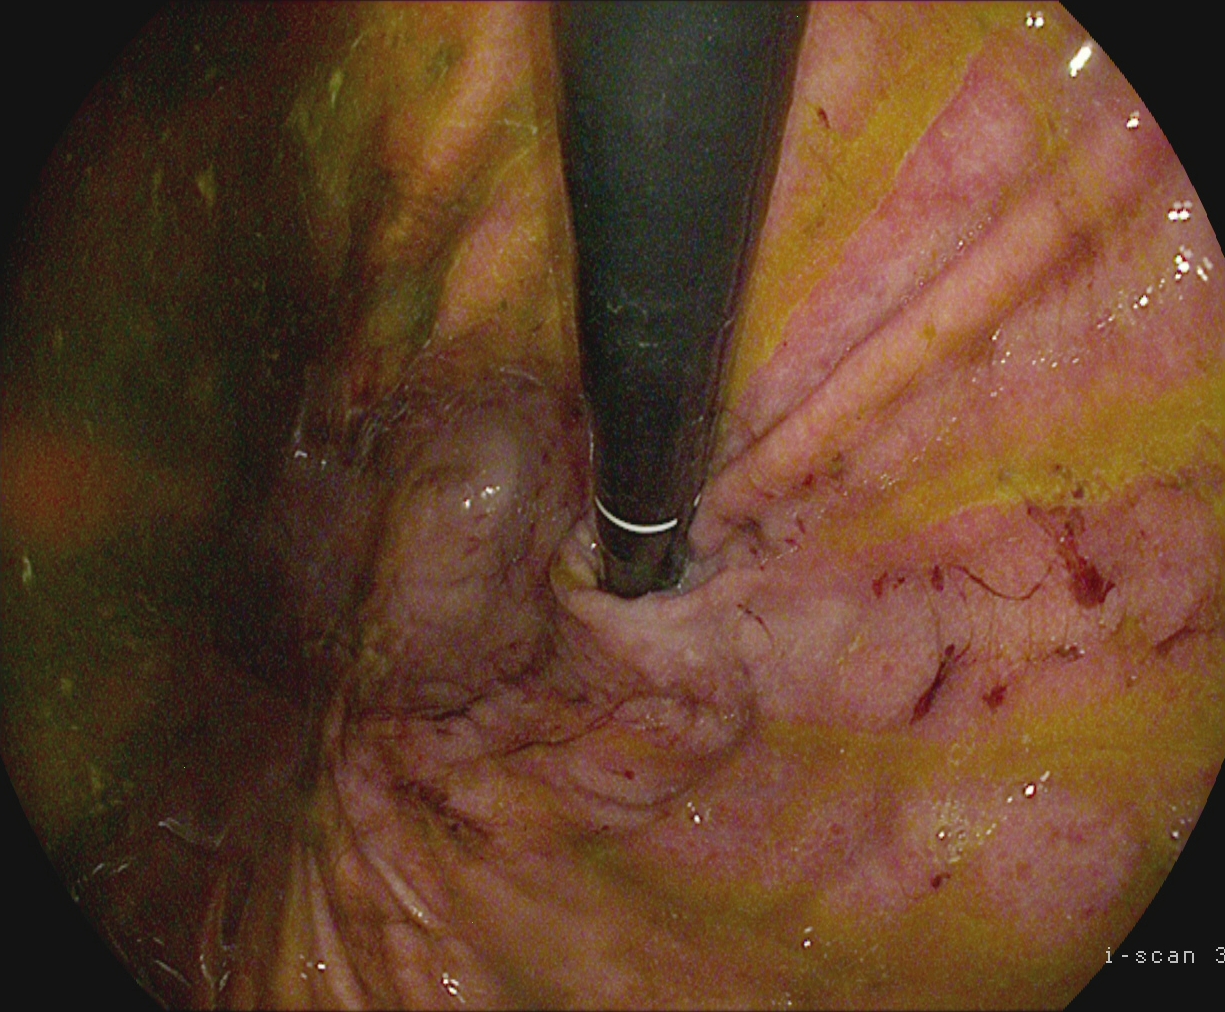modality: esophagogastroduodenoscopy
finding: stomach in retroflexion